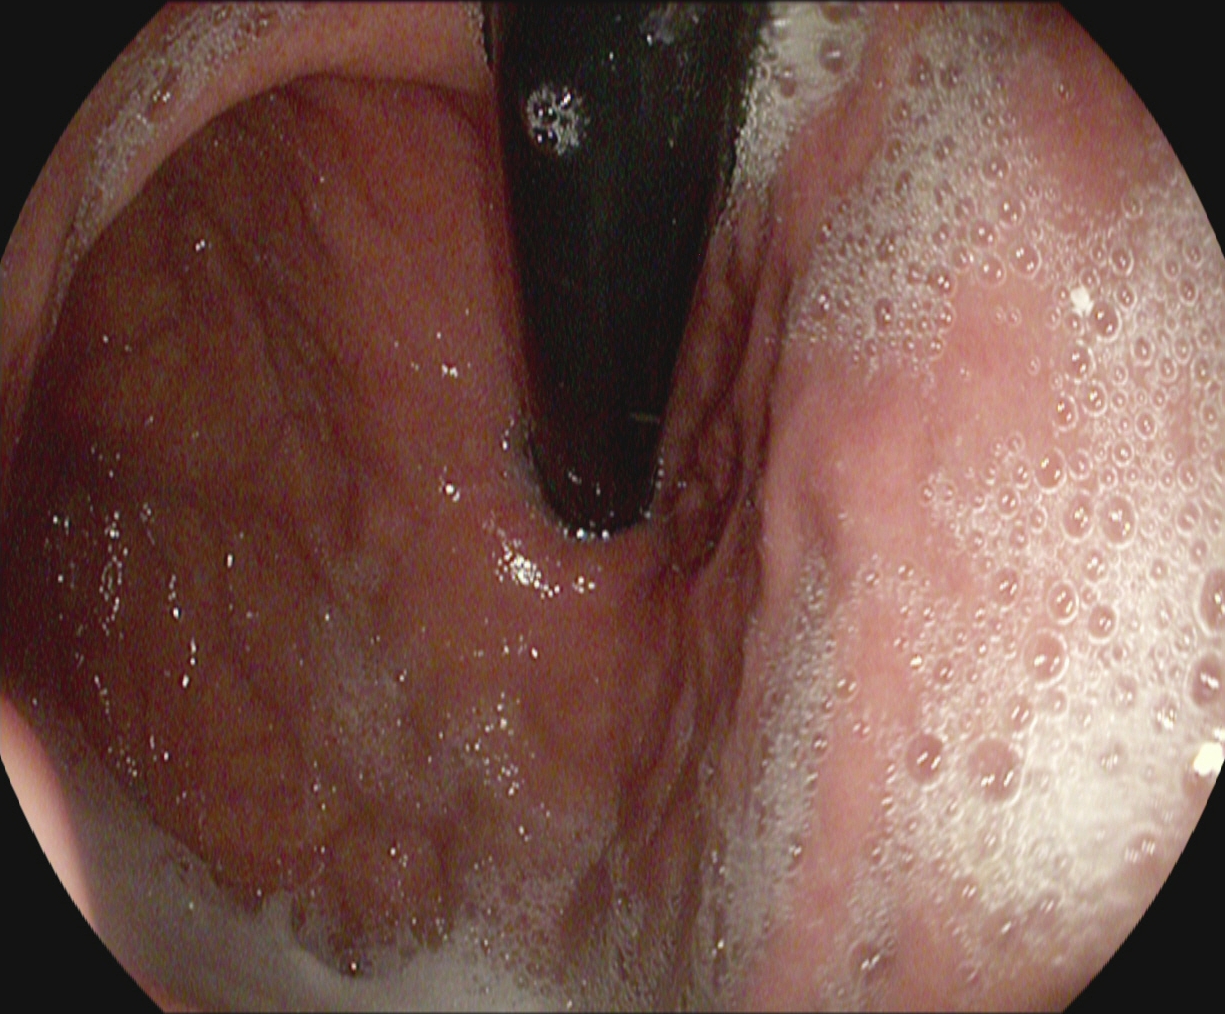Gastroscopy. Finding: stomach in retroflexion.